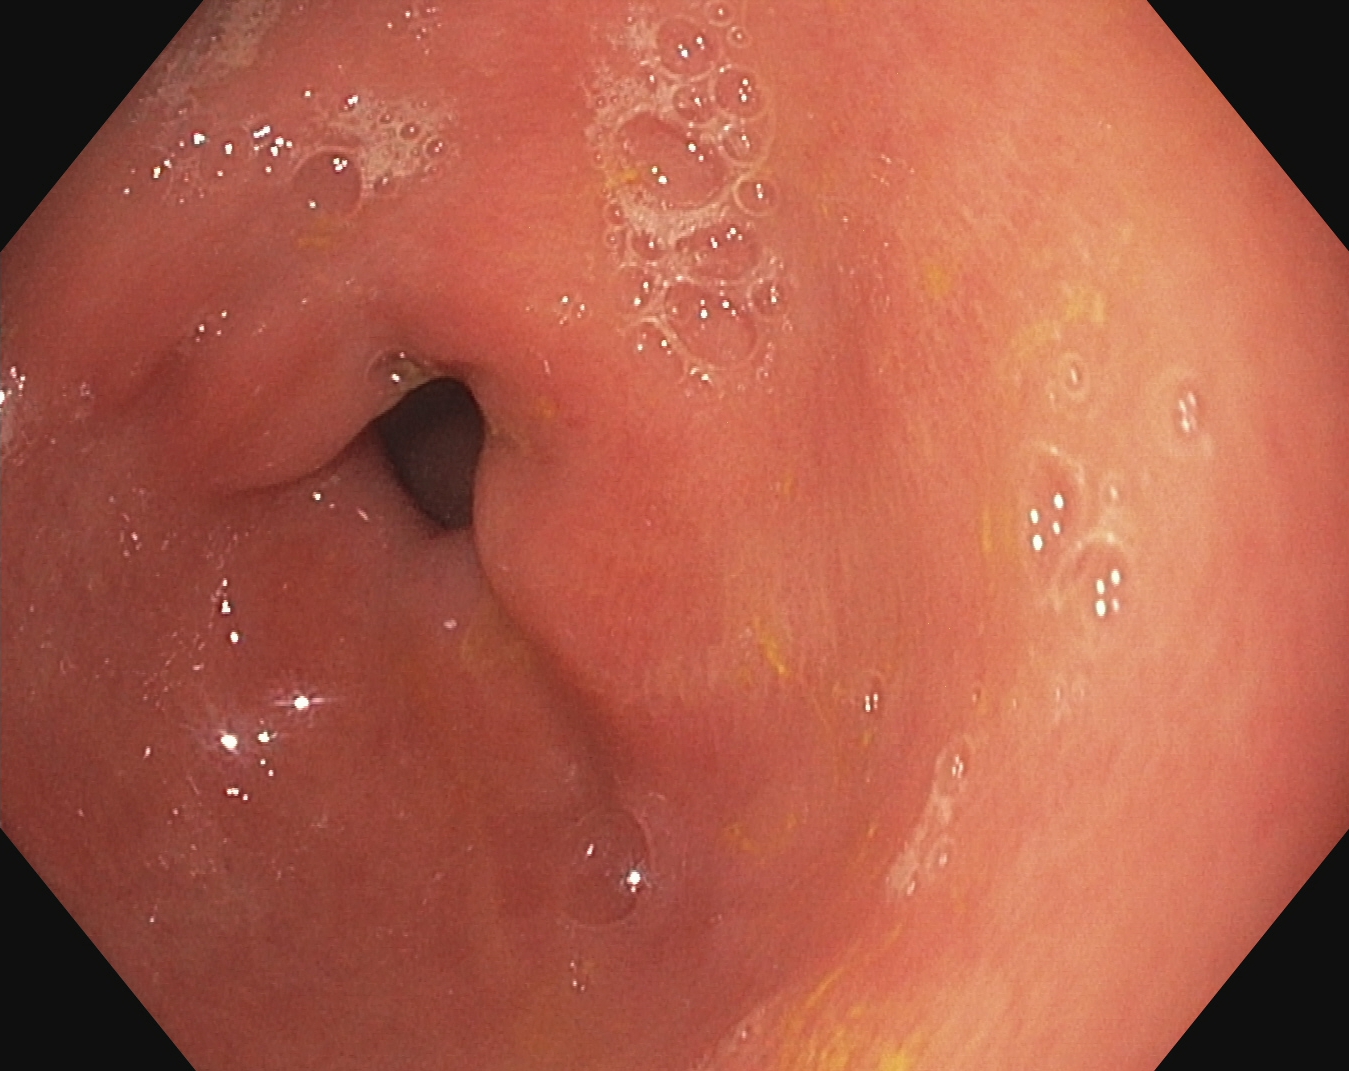modality: upper-GI endoscopy
tract: upper GI tract
finding: pylorus